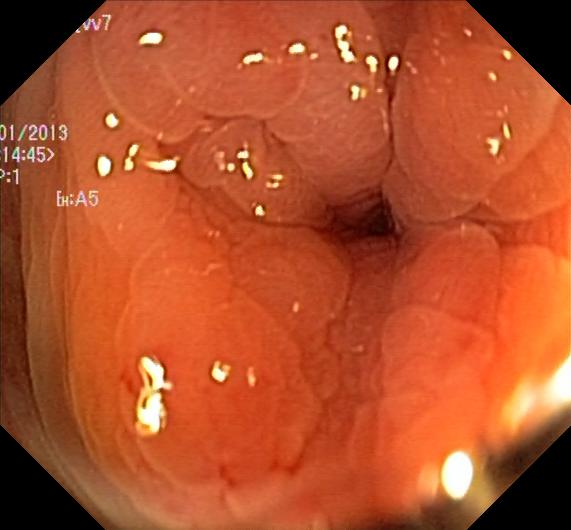{"modality": "lower gastrointestinal endoscopy", "finding": "colorectal polyp(s)"}